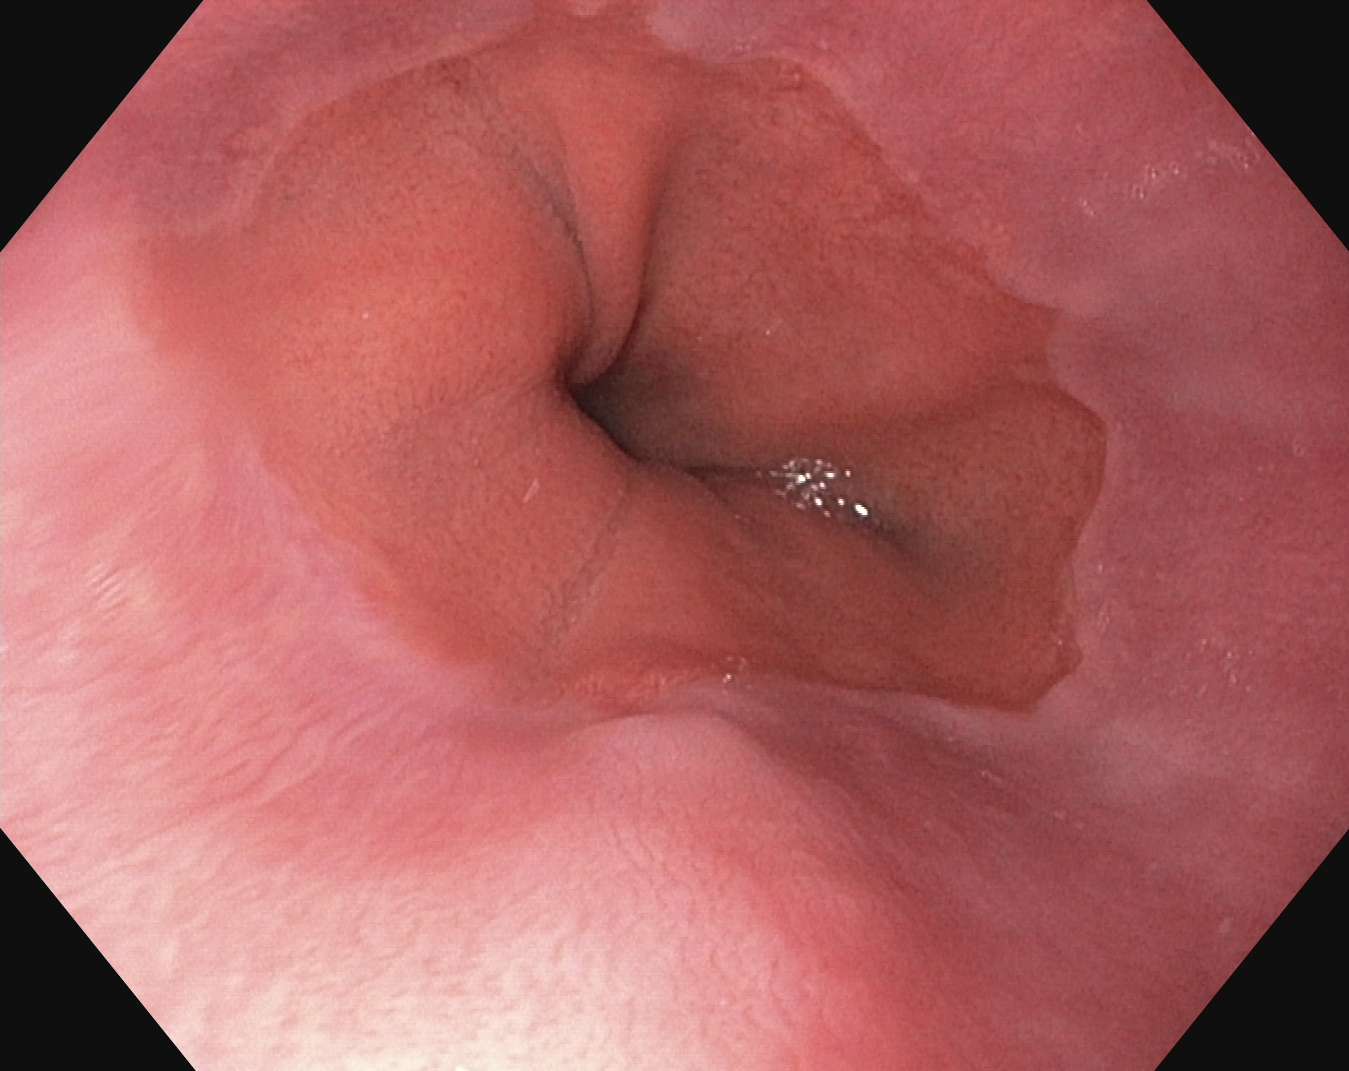{"modality": "gastroscopy", "tract": "upper GI tract", "finding": "Z-line (gastroesophageal junction)"}